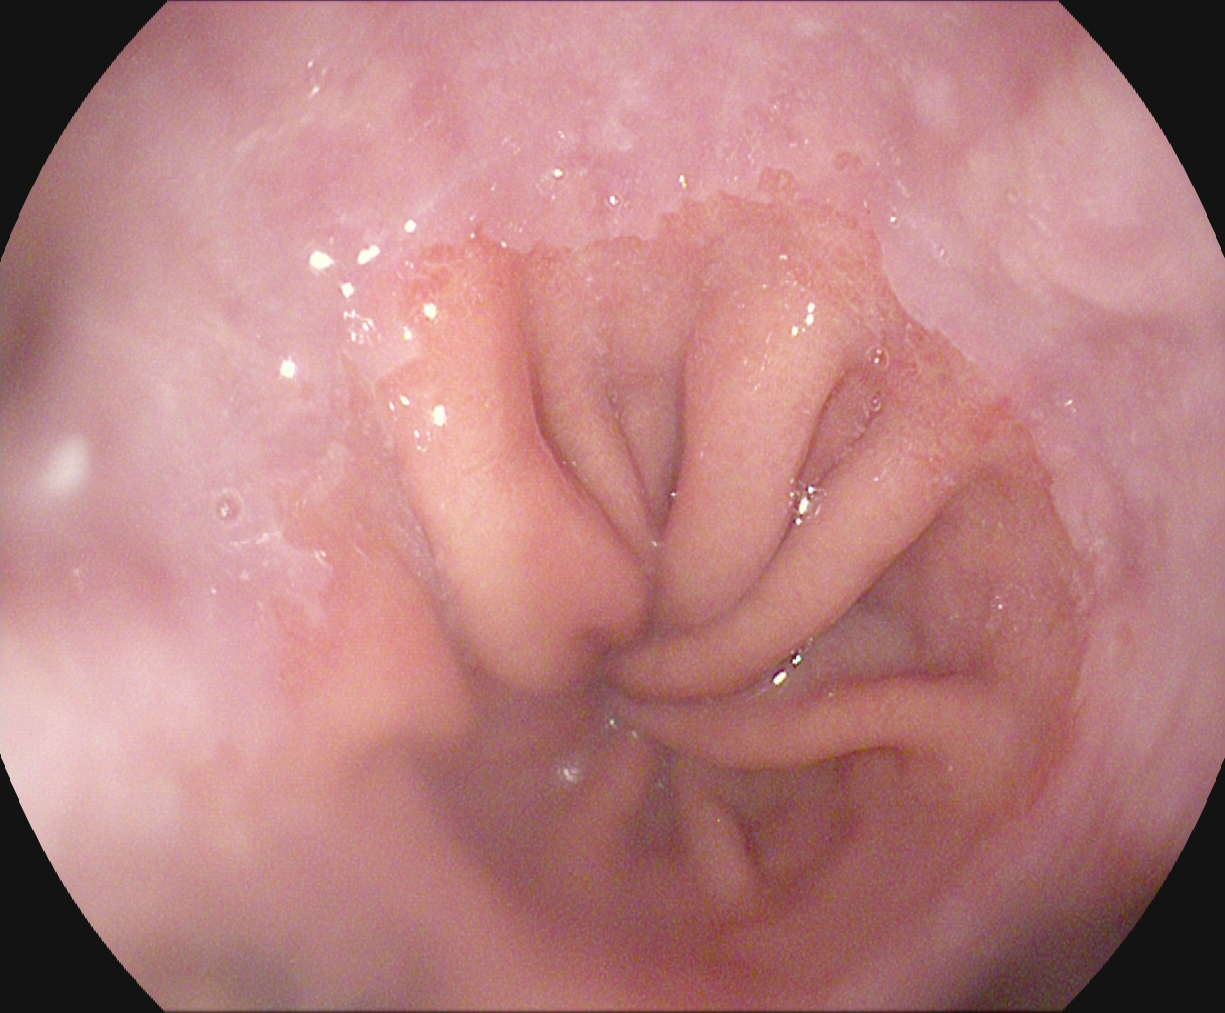Endoscopy image showing Z-line (gastroesophageal junction).